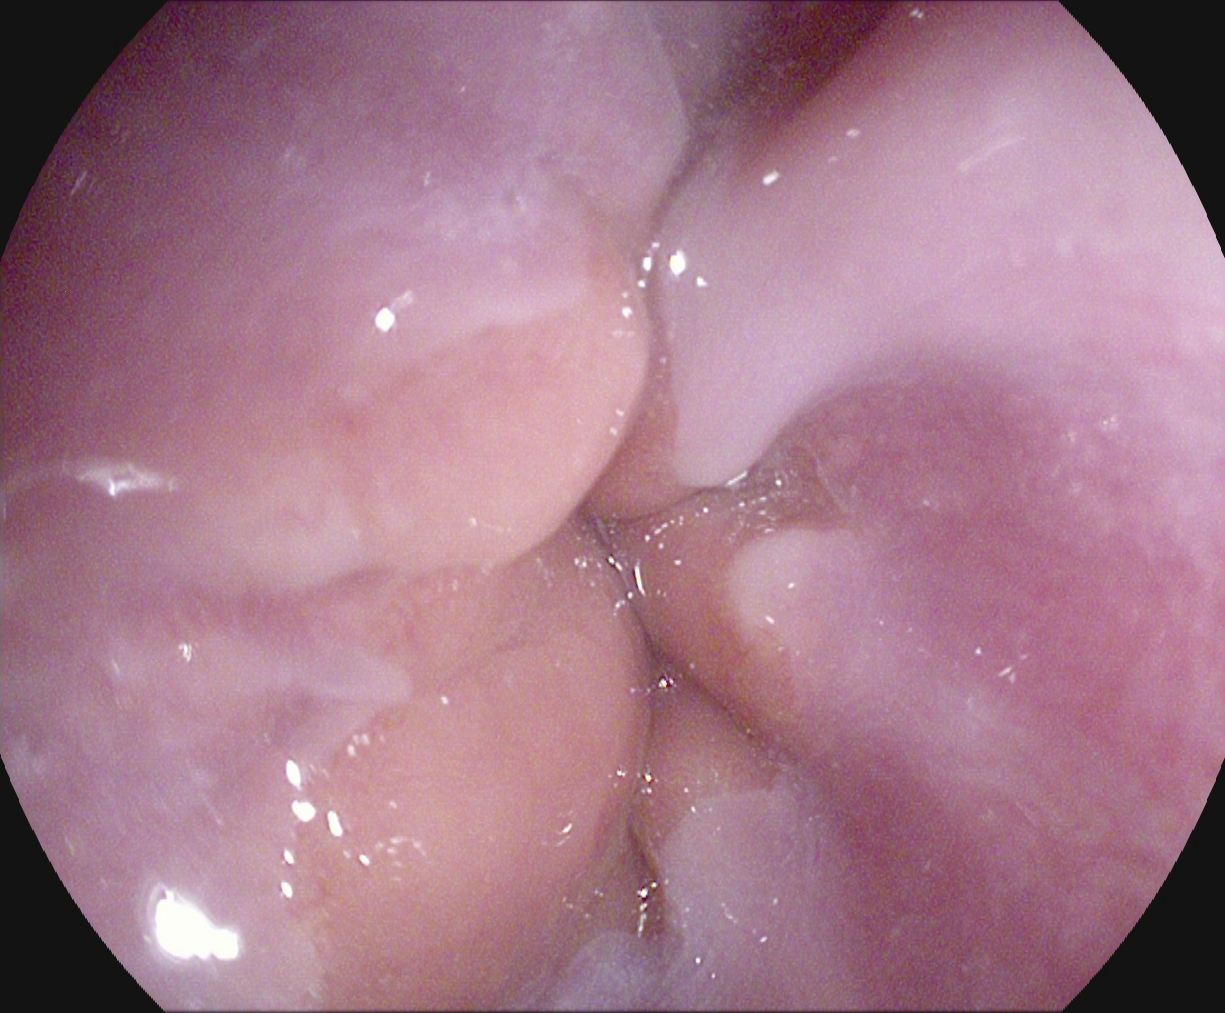Z-line (gastroesophageal junction).